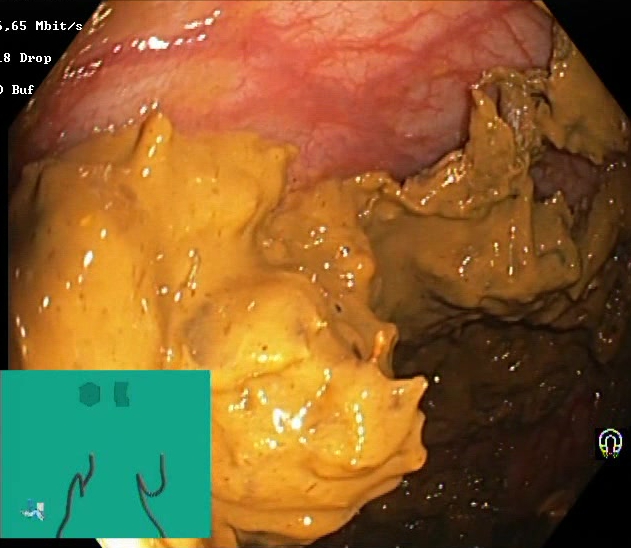Lower-GI endoscopy. Tract: lower GI tract. Mucosal-view quality. Finding: BBPS score 0–1 (inadequate preparation).